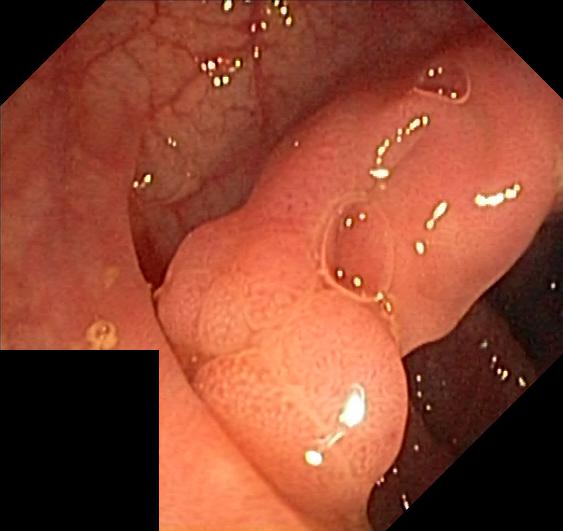modality: colonoscopy
category: pathological finding
finding: colorectal polyp(s)